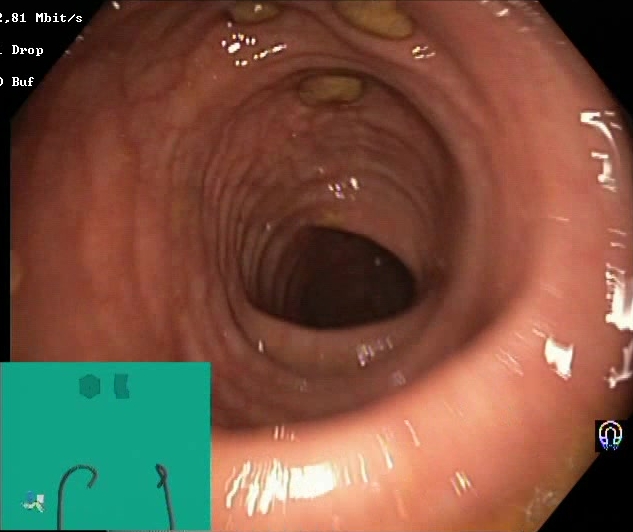GI endoscopy image of the lower GI tract showing impacted stool.